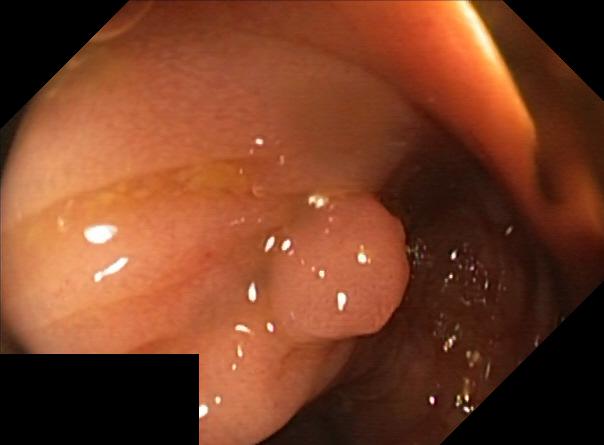Lower-GI endoscopy. Tract: lower GI tract. Finding: colorectal polyp(s).